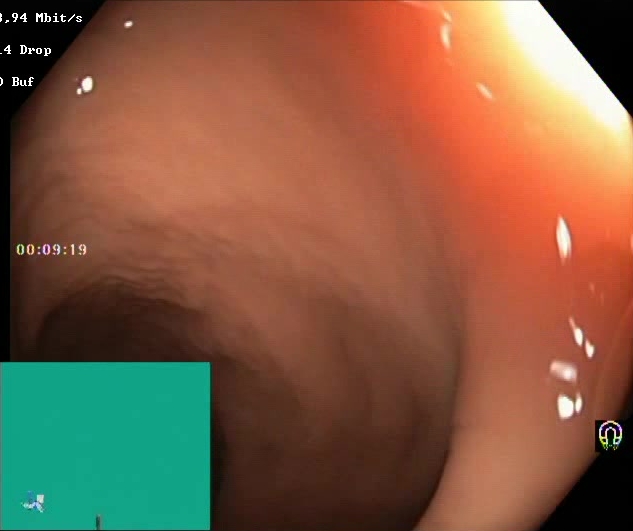{"modality": "lower-GI endoscopy", "tract": "lower GI tract", "finding": "BBPS score 2\u20133 (adequate preparation)"}